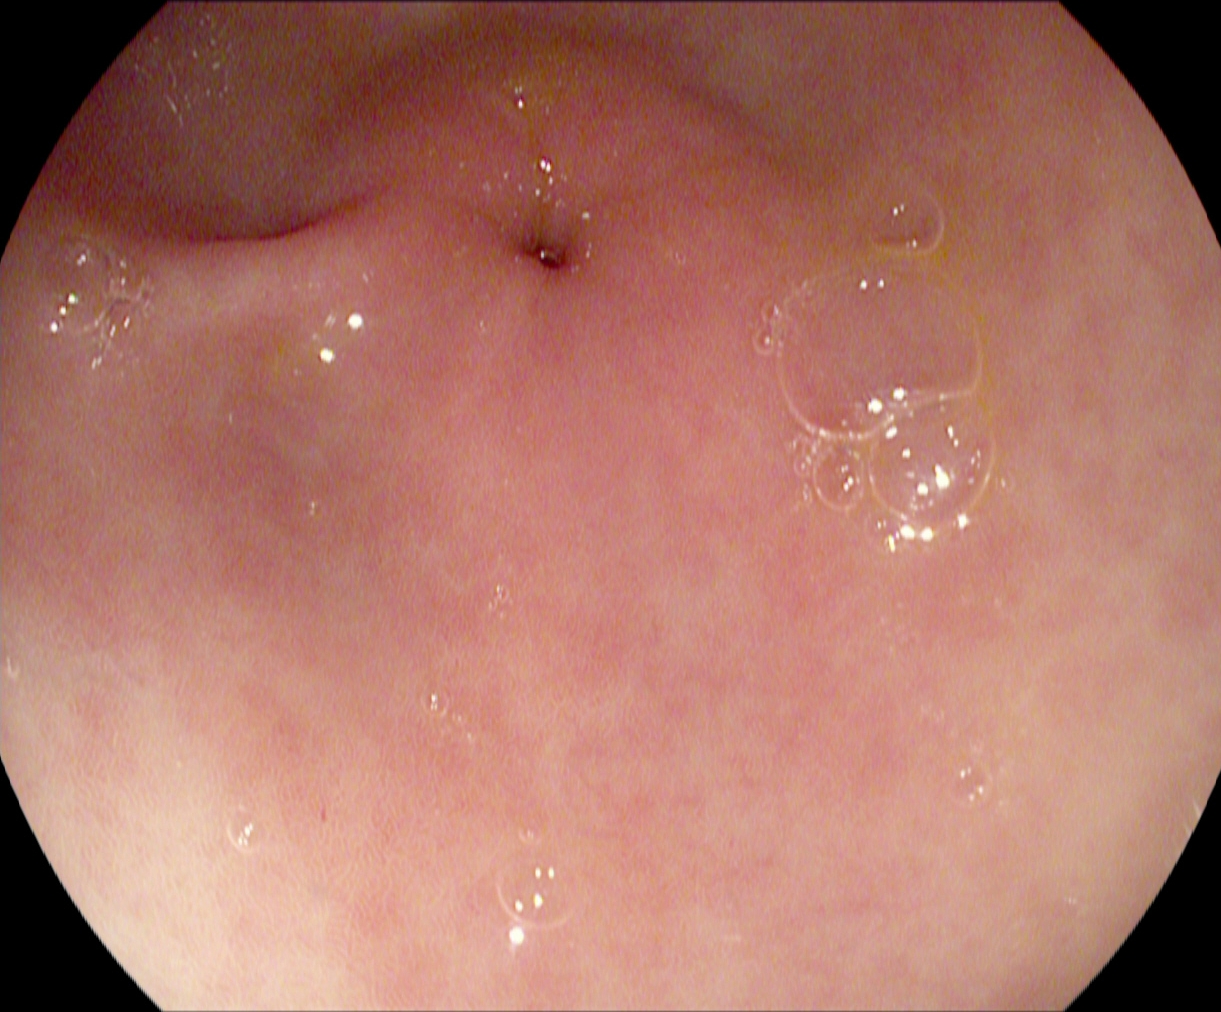This endoscopic image of the upper GI tract shows pylorus.